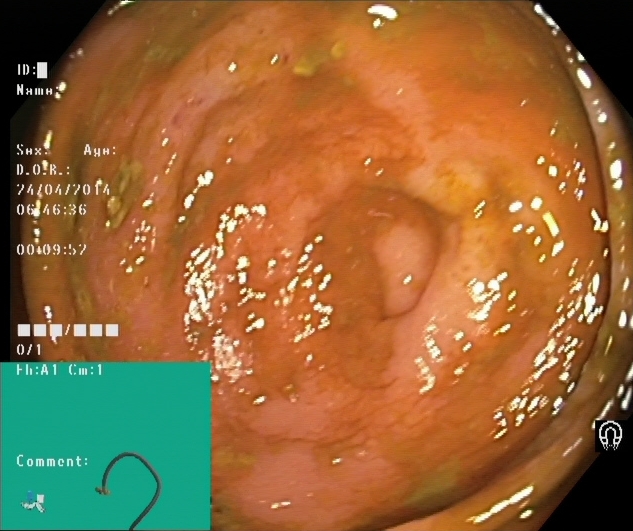{"modality": "lower-GI endoscopy", "tract": "lower GI tract", "finding": "cecum"}